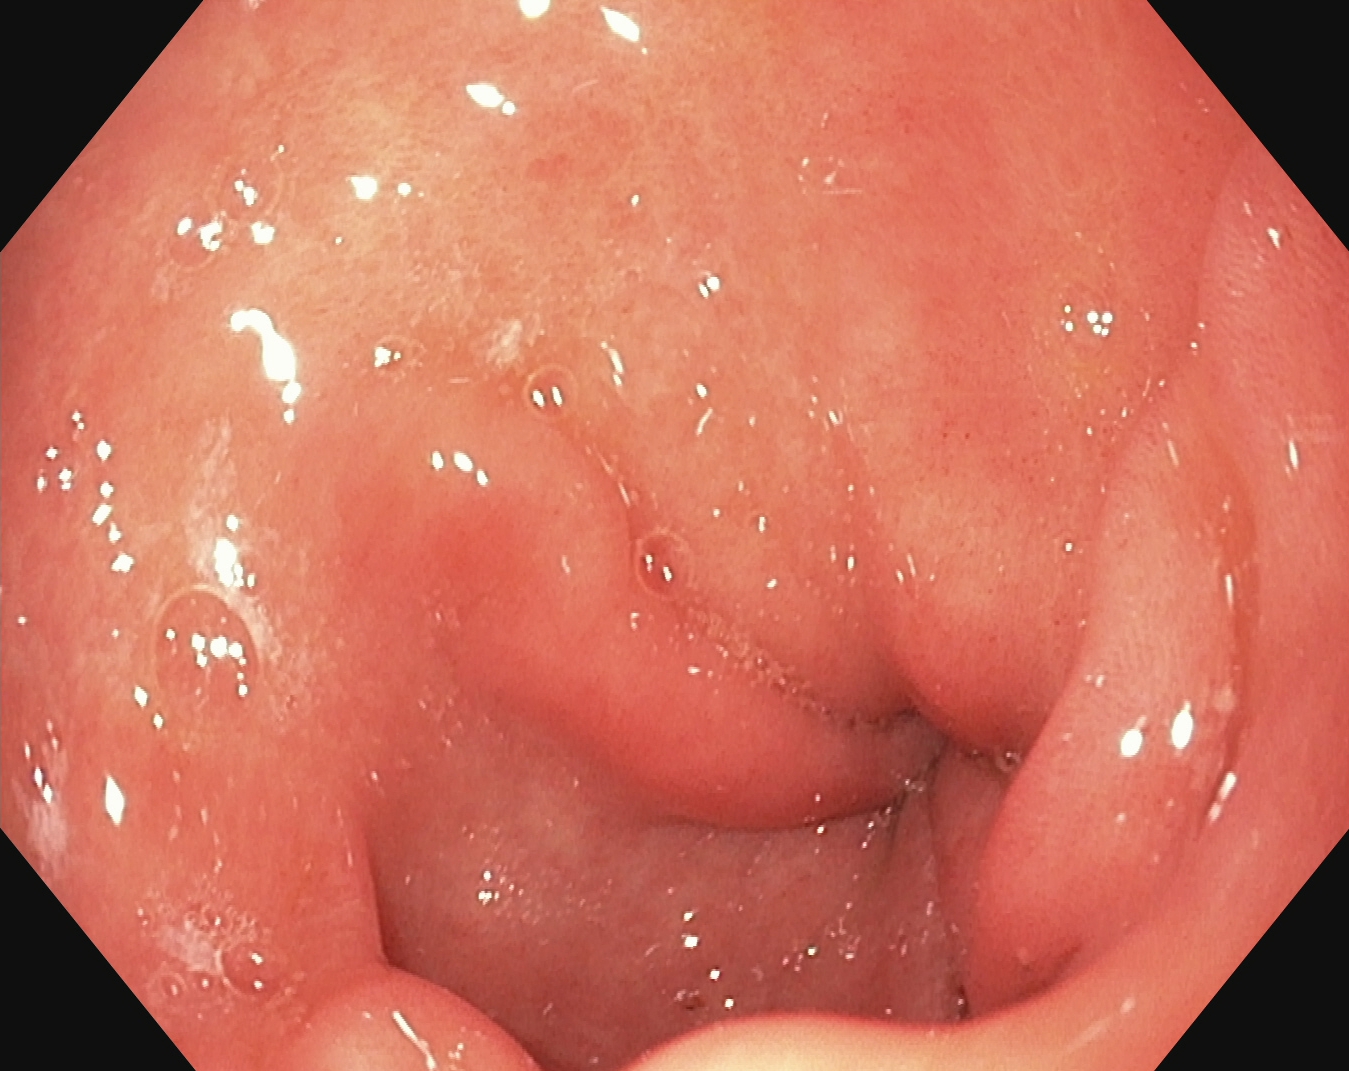EGD. Finding: pylorus.